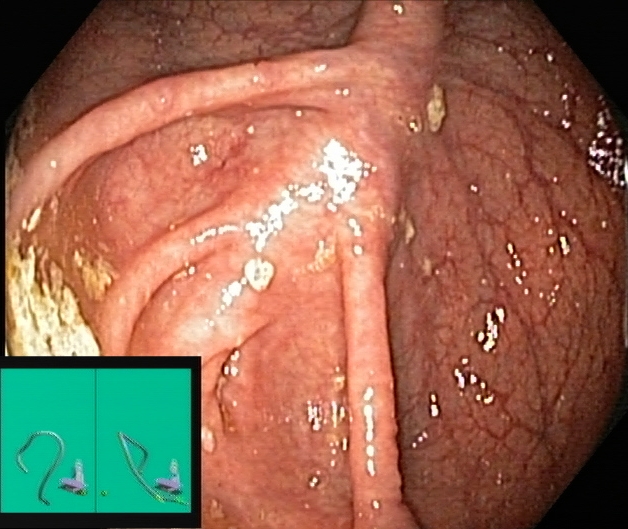Cecum.